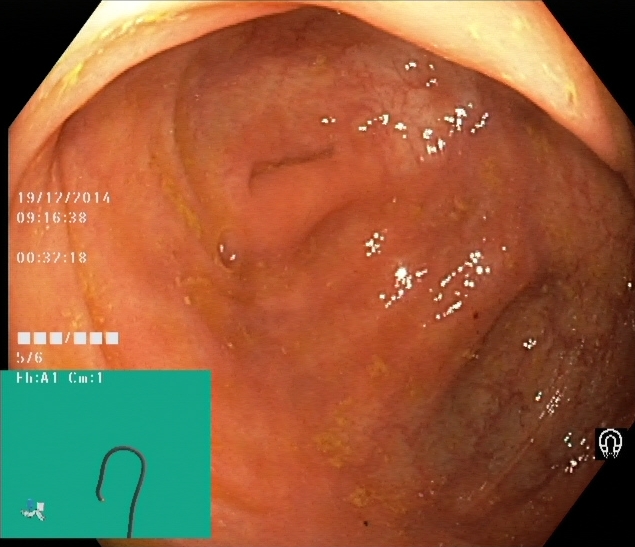Lower gastrointestinal endoscopy — cecum.